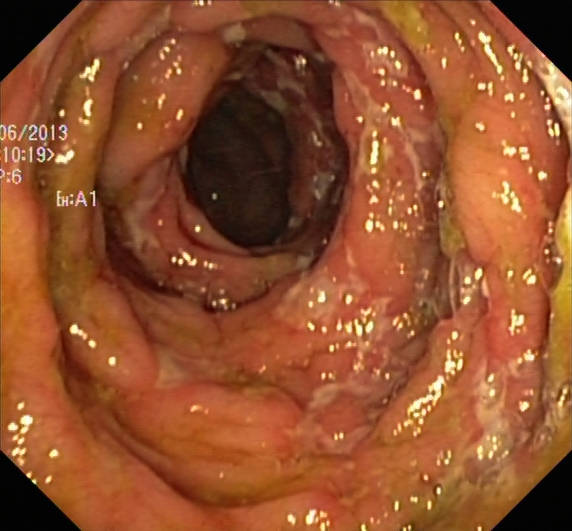Endoscopic image of the lower GI tract showing UC, Mayo endoscopic subscore 3.